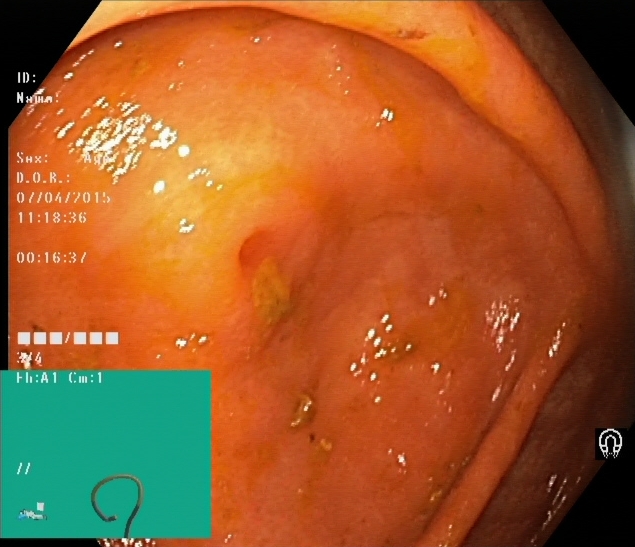{"modality": "lower-GI endoscopy", "category": "anatomical landmark", "finding": "cecum"}